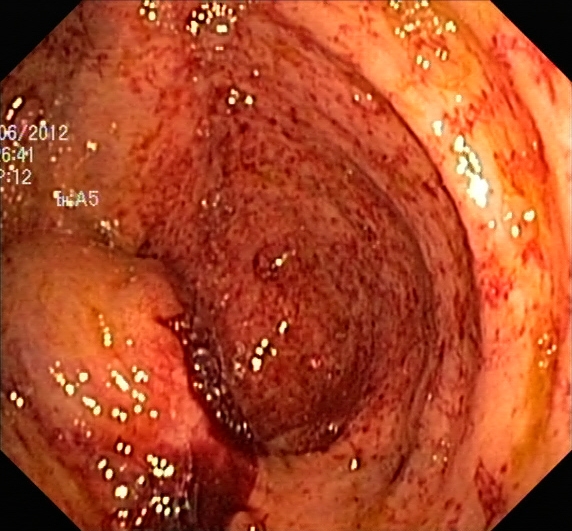Endoscopic frame of the lower GI tract showing UC, Mayo endoscopic subscore 3.